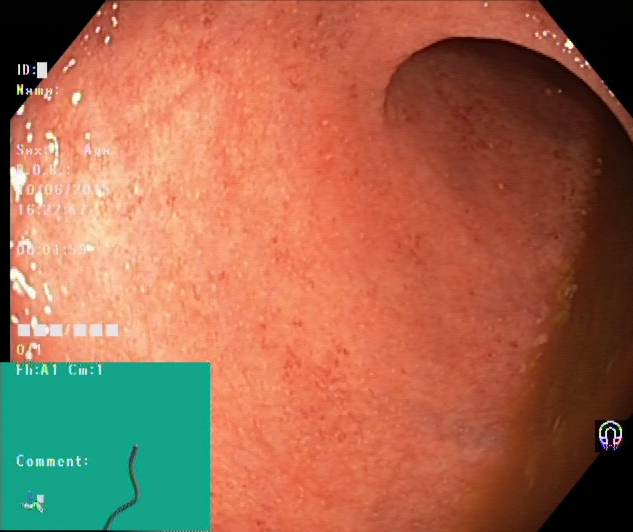Gastrointestinal endoscopy image of the lower GI tract showing ulcerative colitis, Mayo endoscopic subscore 1.